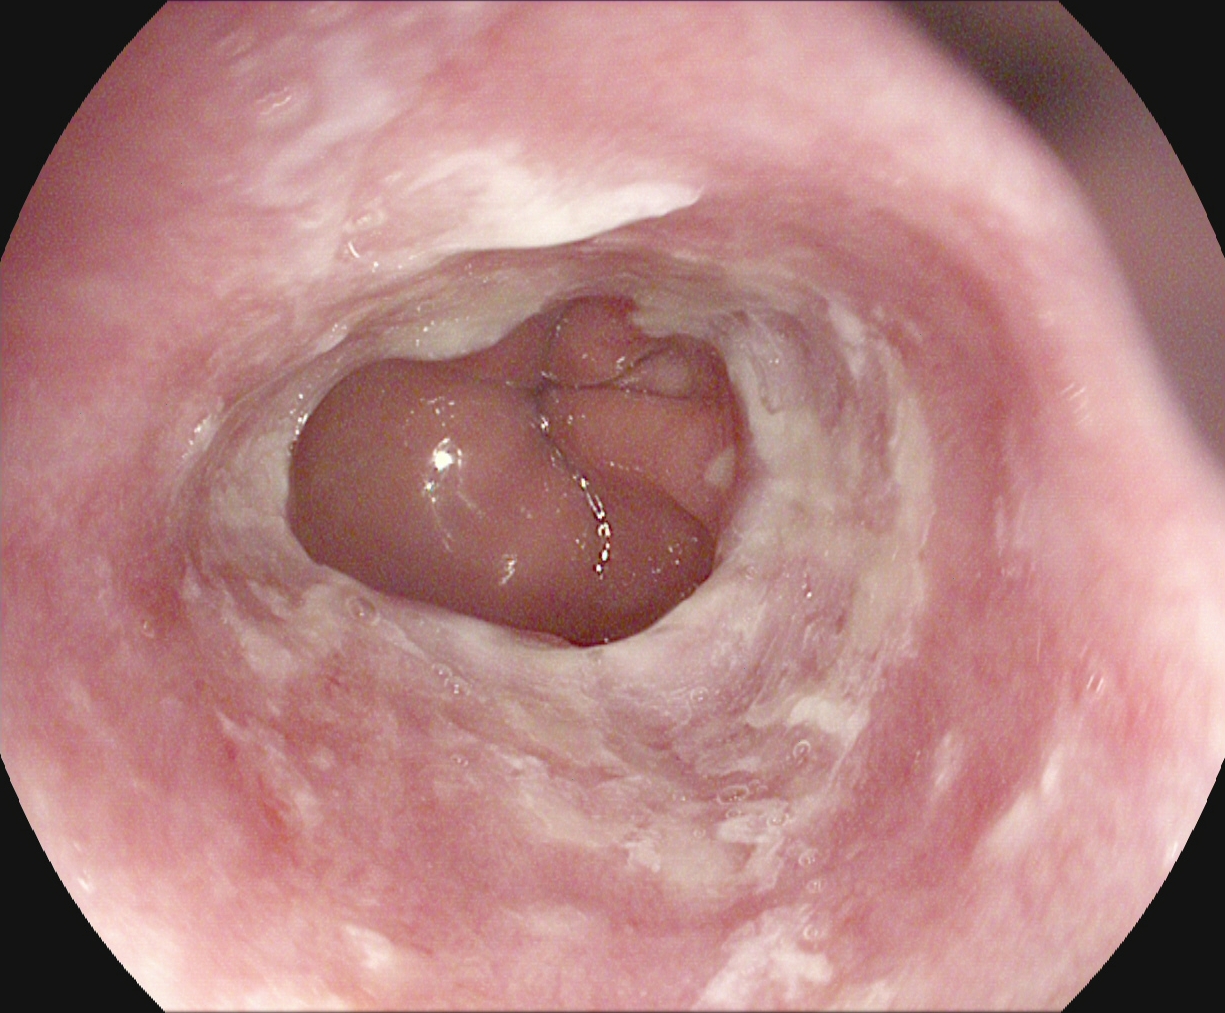This endoscopic image of the upper GI tract shows reflux esophagitis, Los Angeles grade B–D.